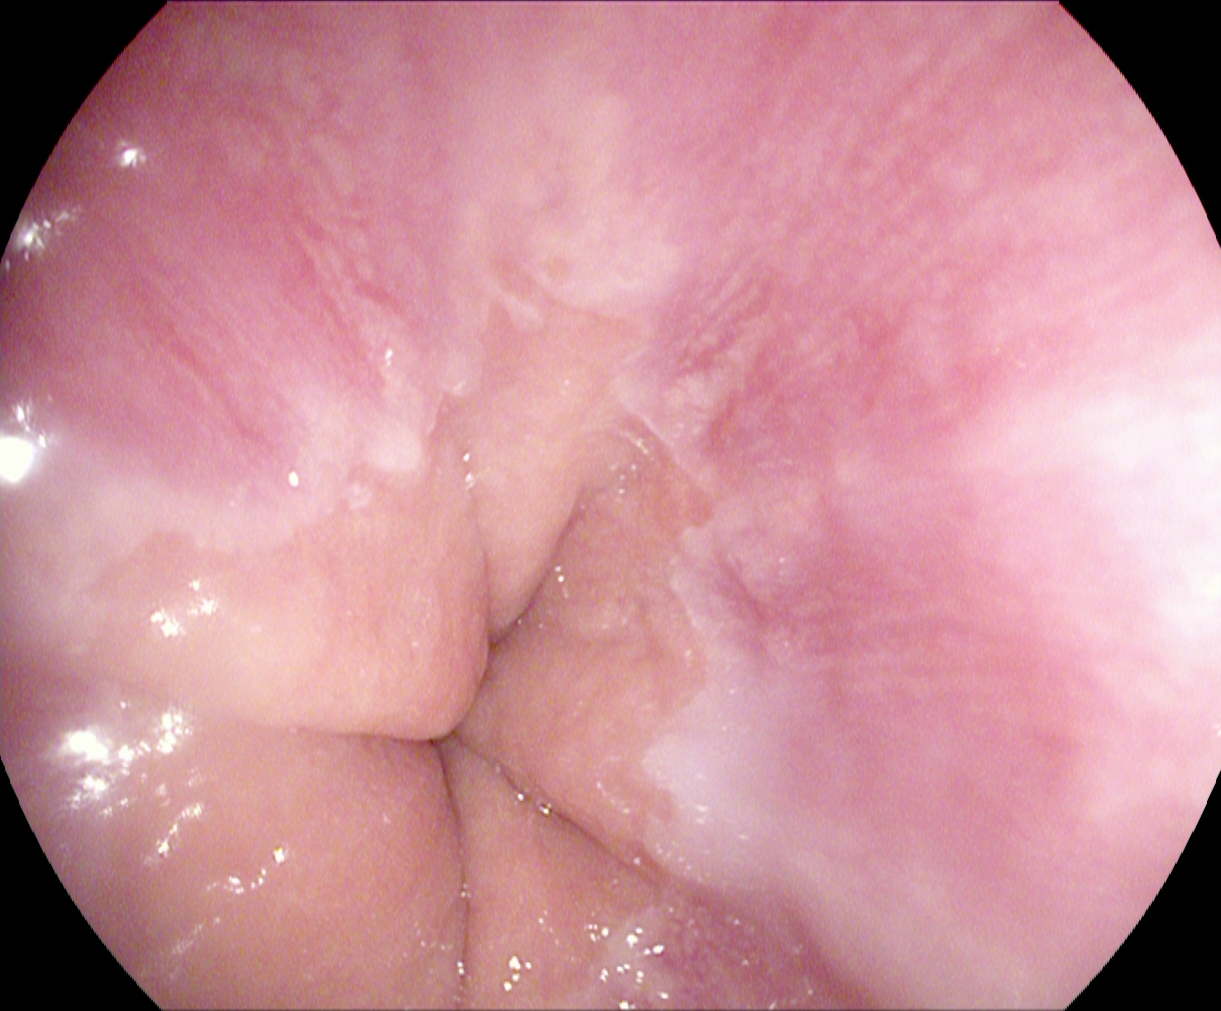Esophagogastroduodenoscopy. Finding: Z-line (gastroesophageal junction).